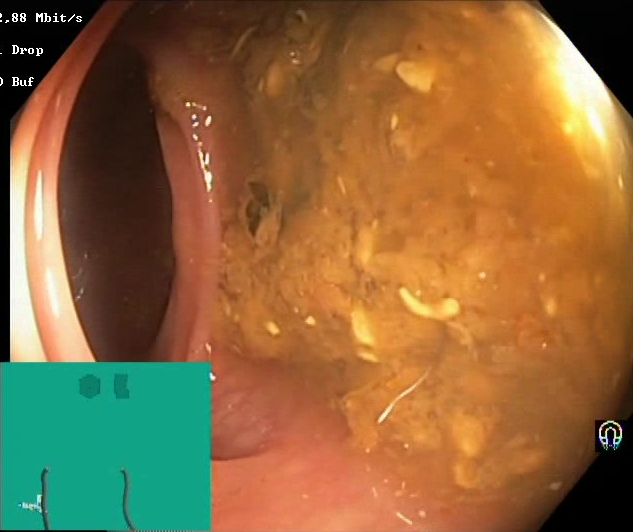Endoscopic image of the lower GI tract showing Boston Bowel Preparation Scale score 0–1 (inadequate preparation).